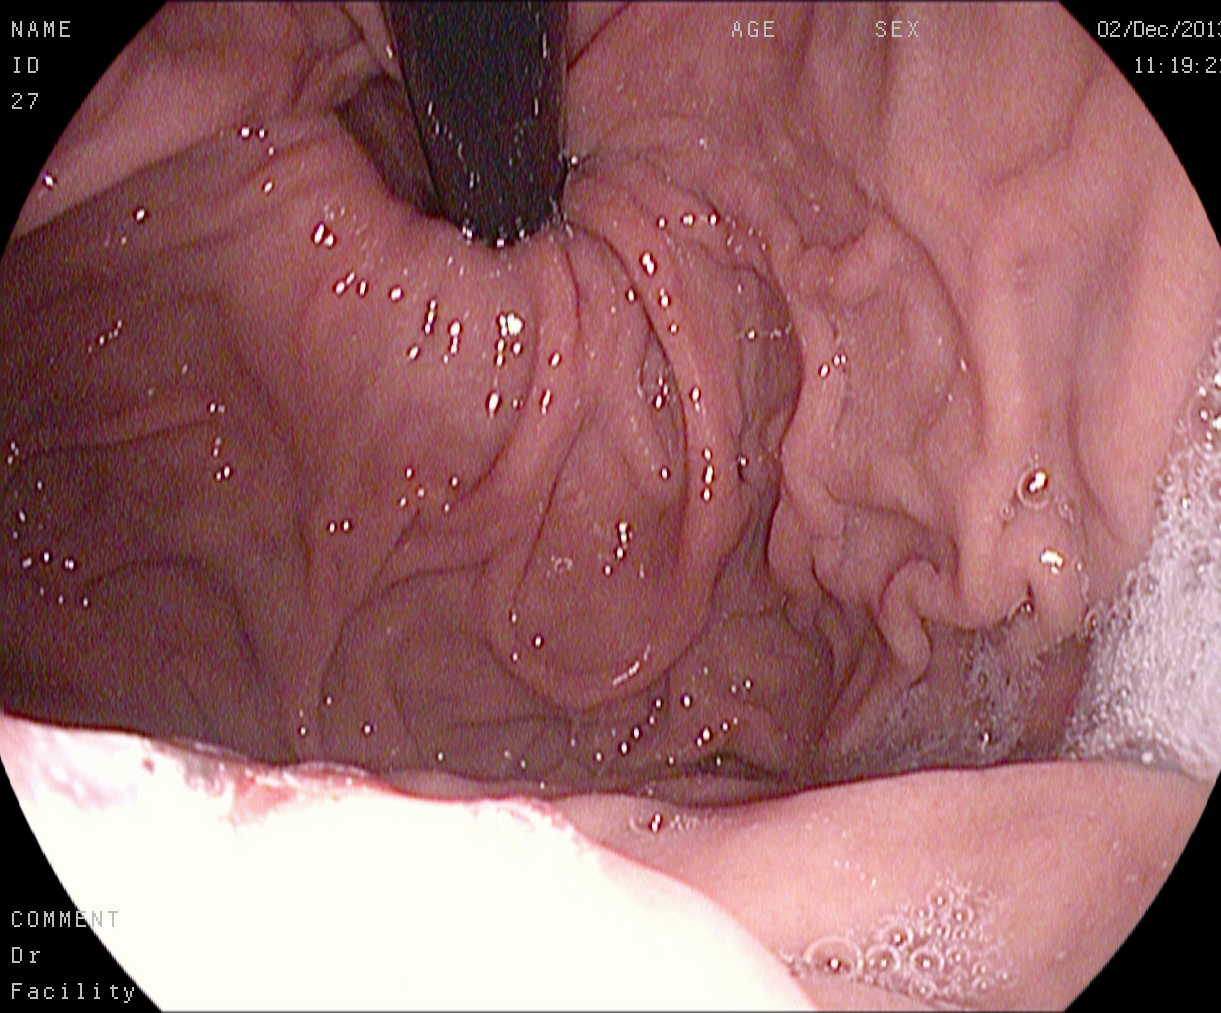modality: EGD | finding: stomach in retroflexion